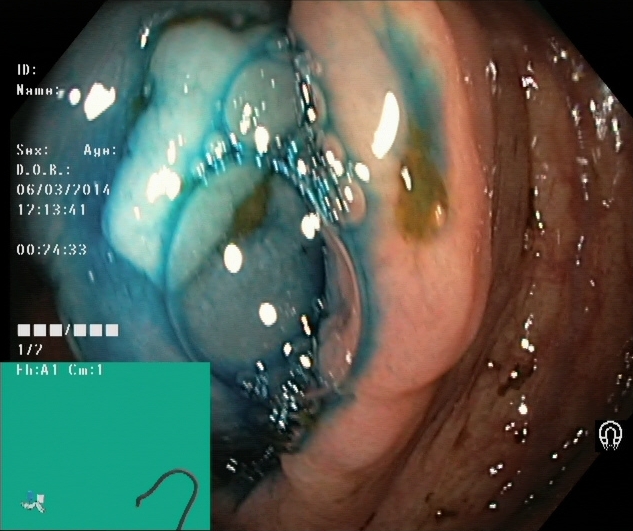GI endoscopy image of the lower GI tract showing dyed and lifted polyp (pre-resection).